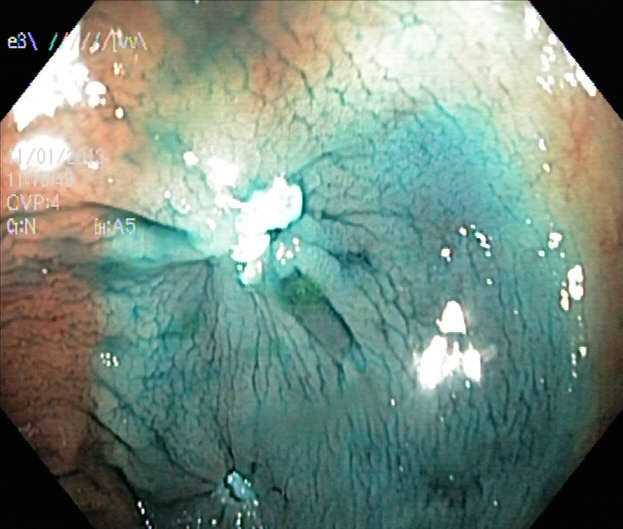This endoscopy frame shows dyed resection margins (post-polypectomy).